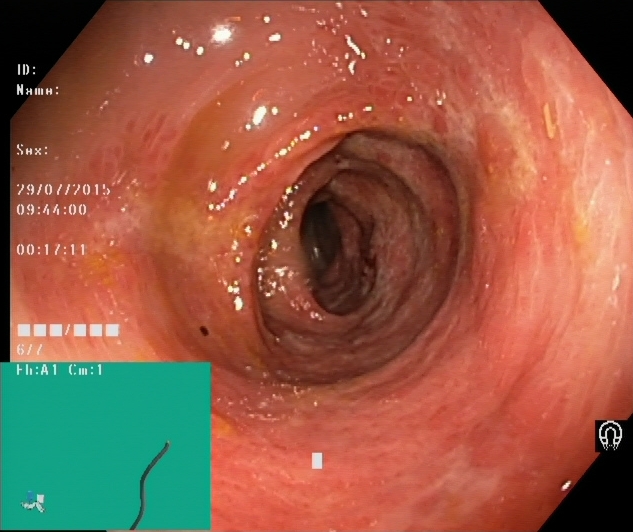modality: colonoscopy | tract: lower GI tract | finding: ulcerative colitis, Mayo endoscopic subscore 2